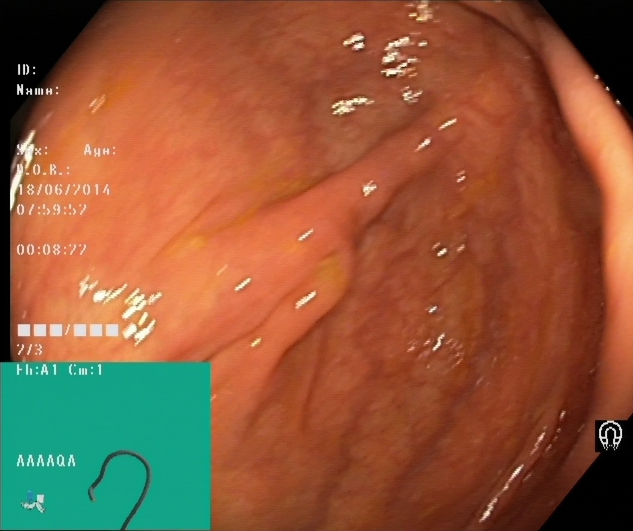Cecum.